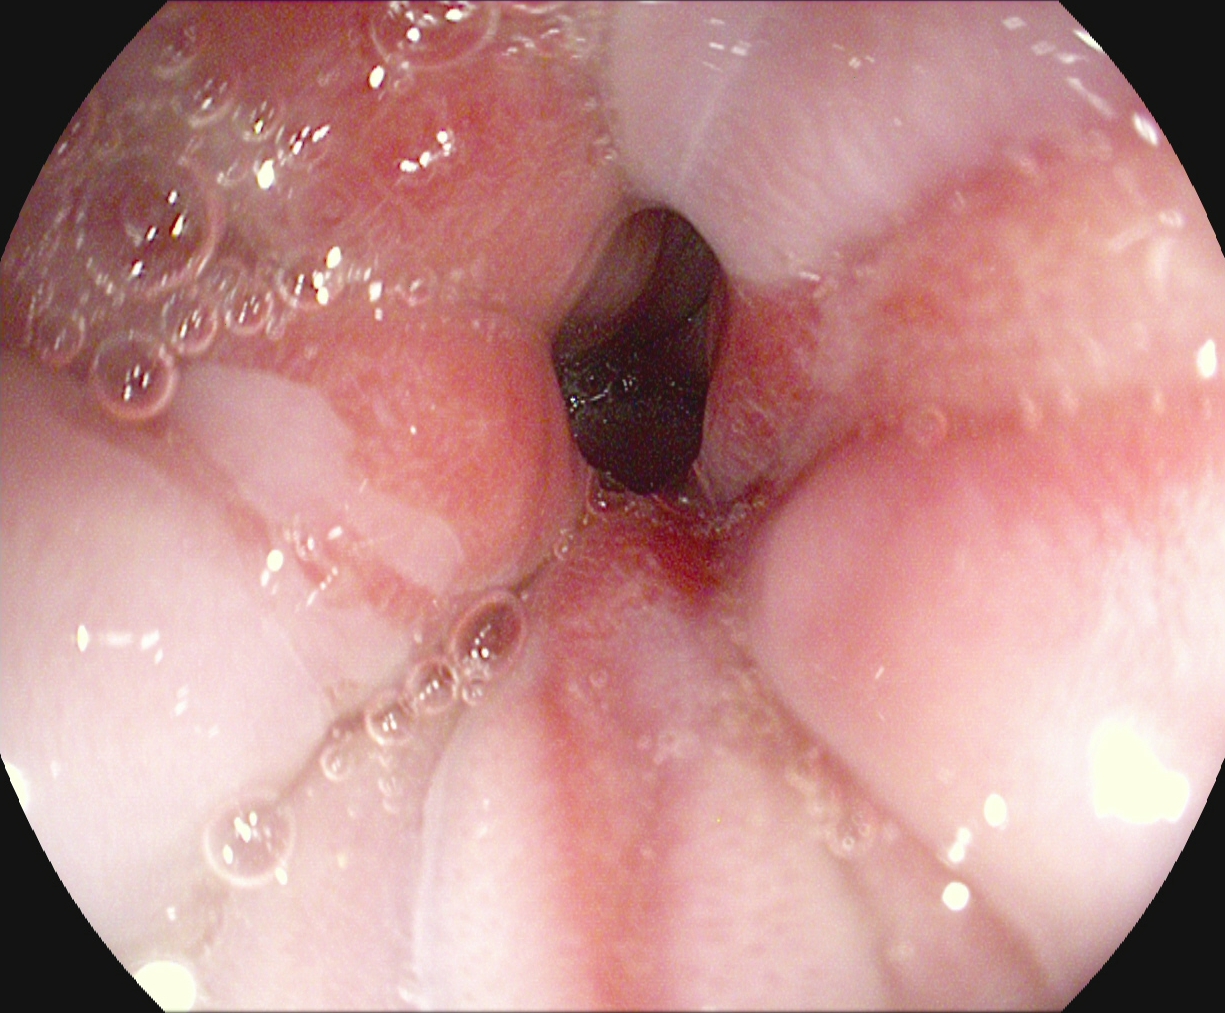Gastroscopy. Finding: reflux esophagitis, Los Angeles grade A.